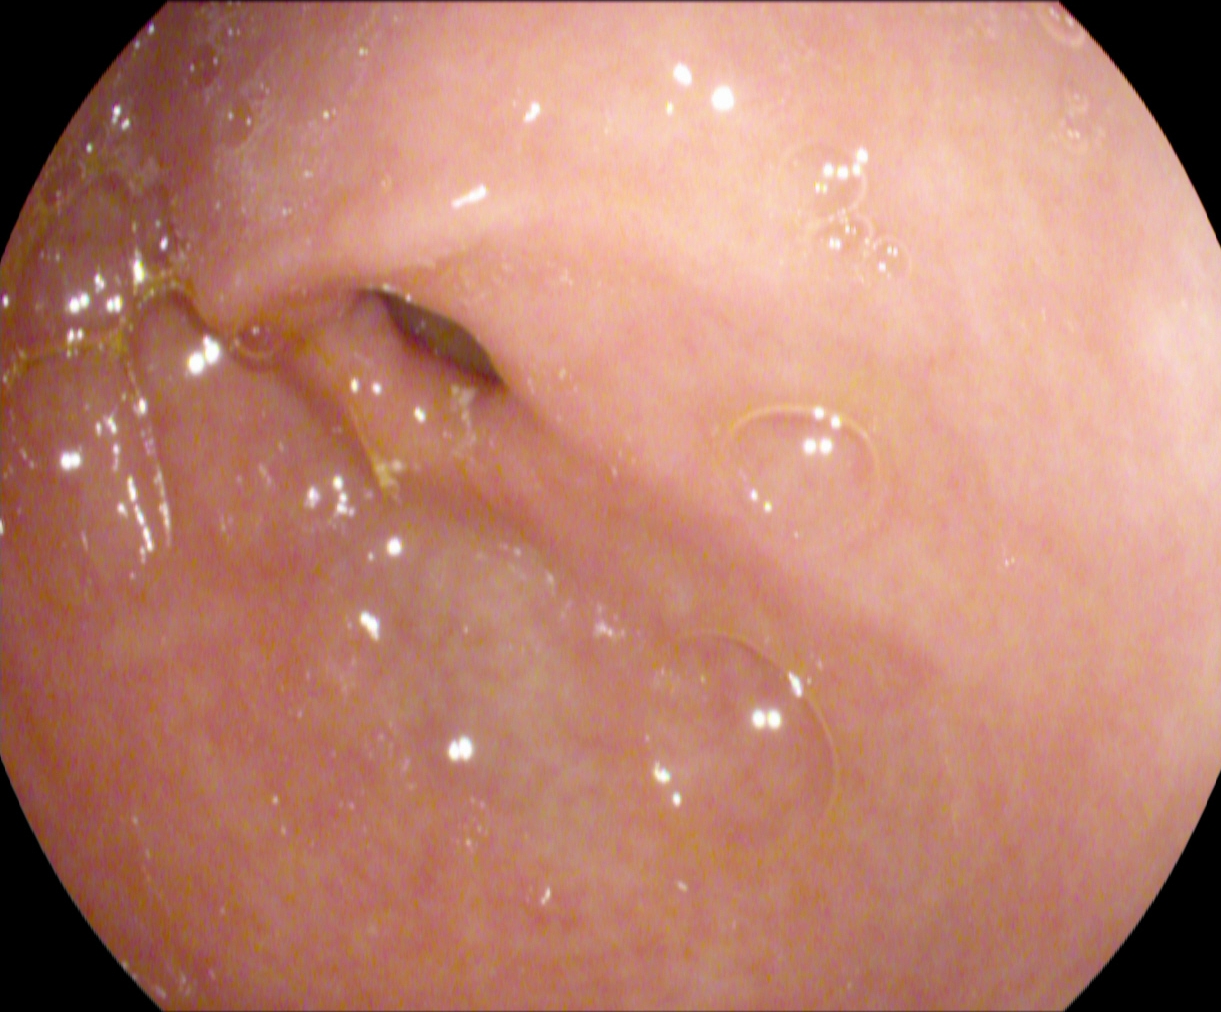Gastroscopy. Tract: upper GI tract. Finding: pylorus.